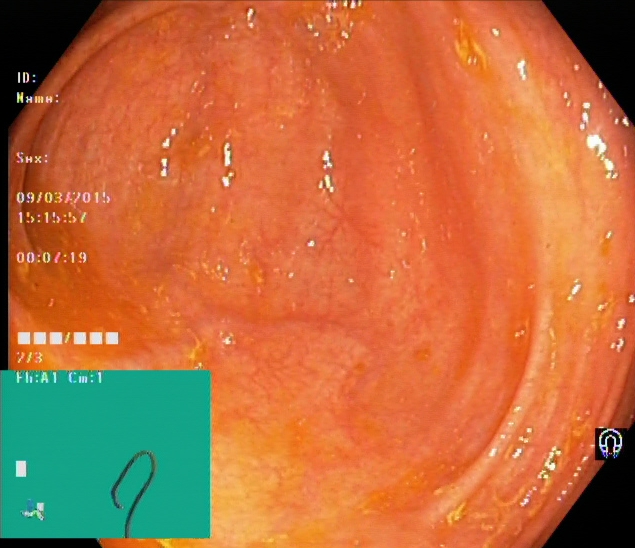modality: colonoscopy; tract: lower GI tract; finding: cecum